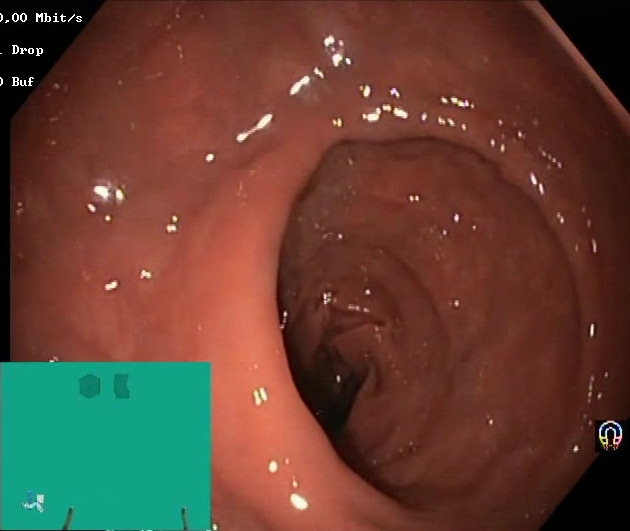{"modality": "lower-GI endoscopy", "tract": "lower GI tract", "finding": "Boston Bowel Preparation Scale score 2\u20133 (adequate preparation)"}